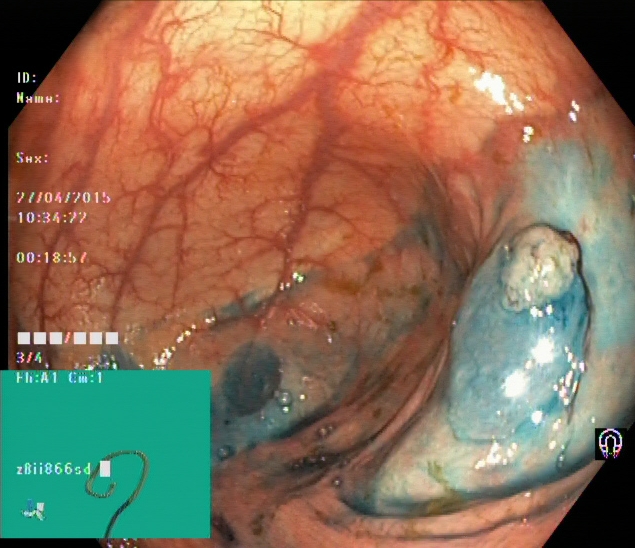modality: lower gastrointestinal endoscopy | tract: lower GI tract | finding: dyed and lifted polyp (pre-resection)